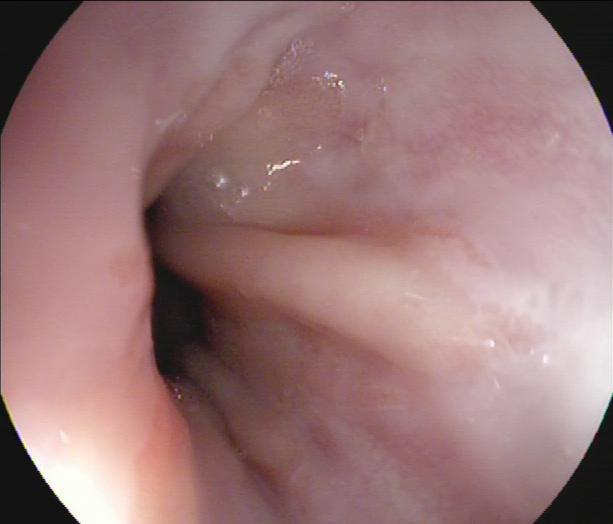Gastroscopy. Finding: Z-line (gastroesophageal junction).